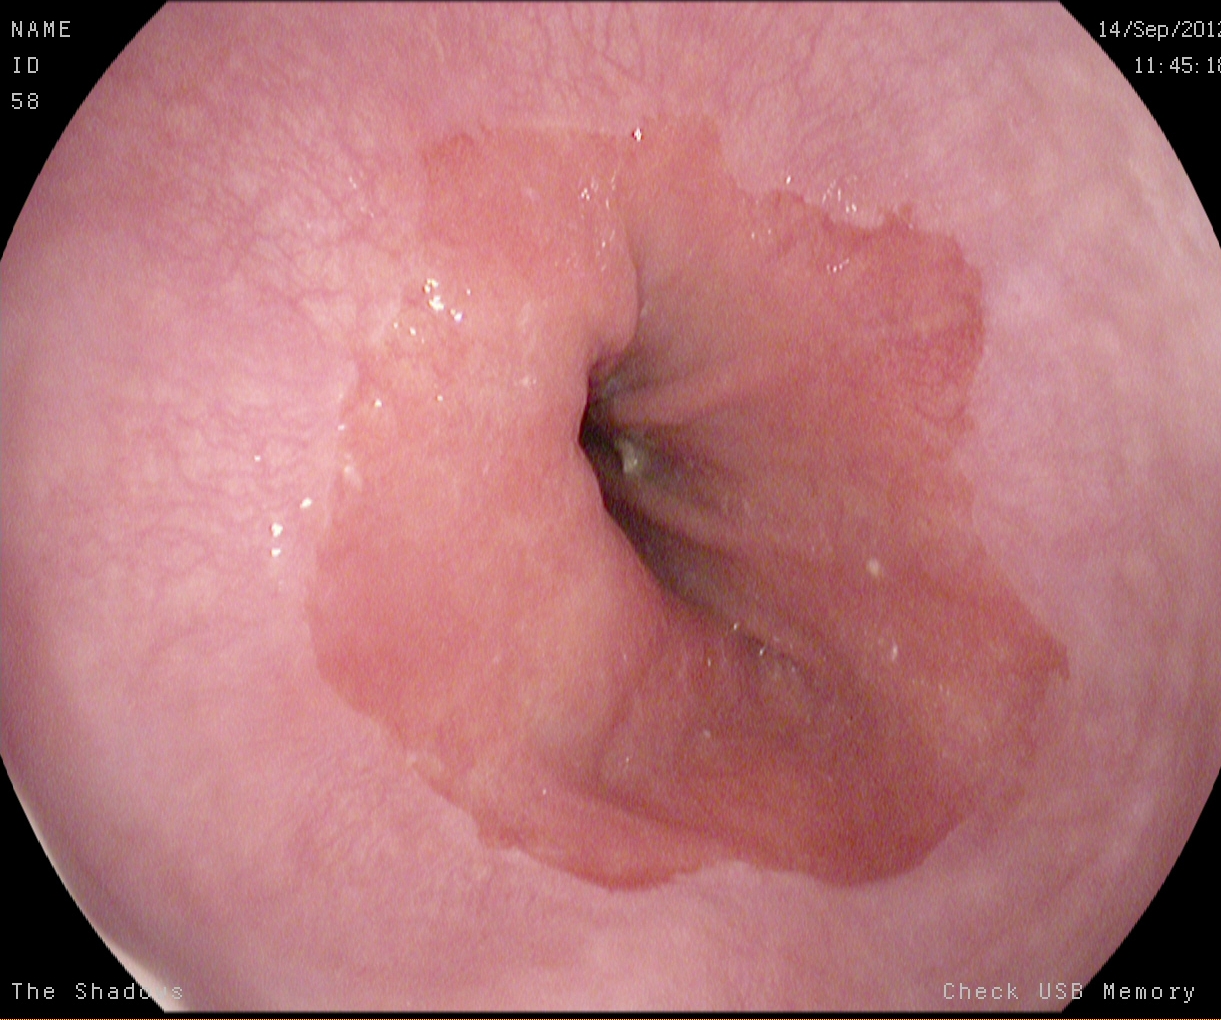This endoscopic image of the upper GI tract shows Z-line (gastroesophageal junction).